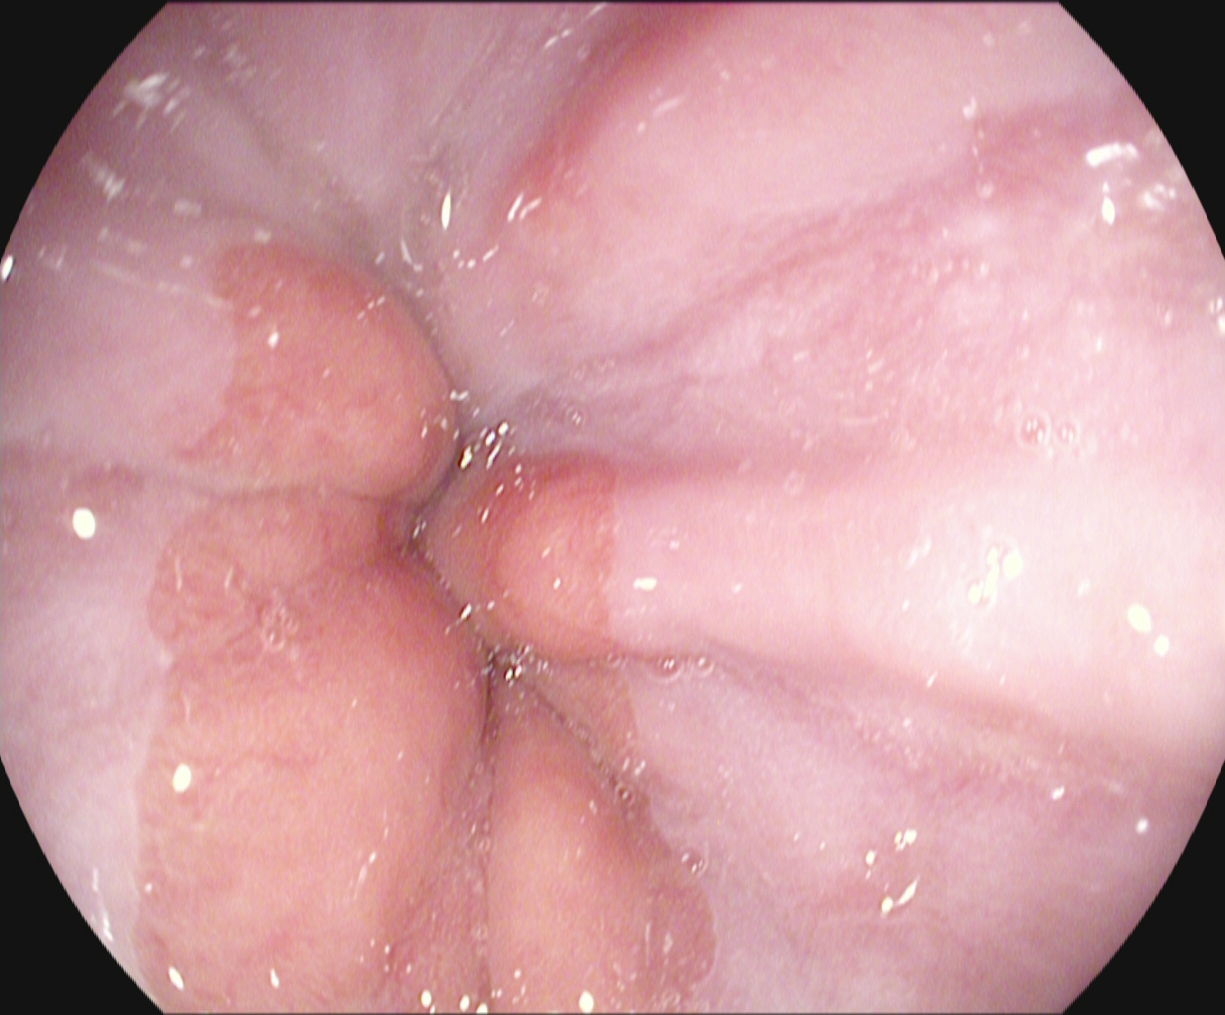{"modality": "EGD", "tract": "upper GI tract", "category": "anatomical landmark", "finding": "Z-line (gastroesophageal junction)"}